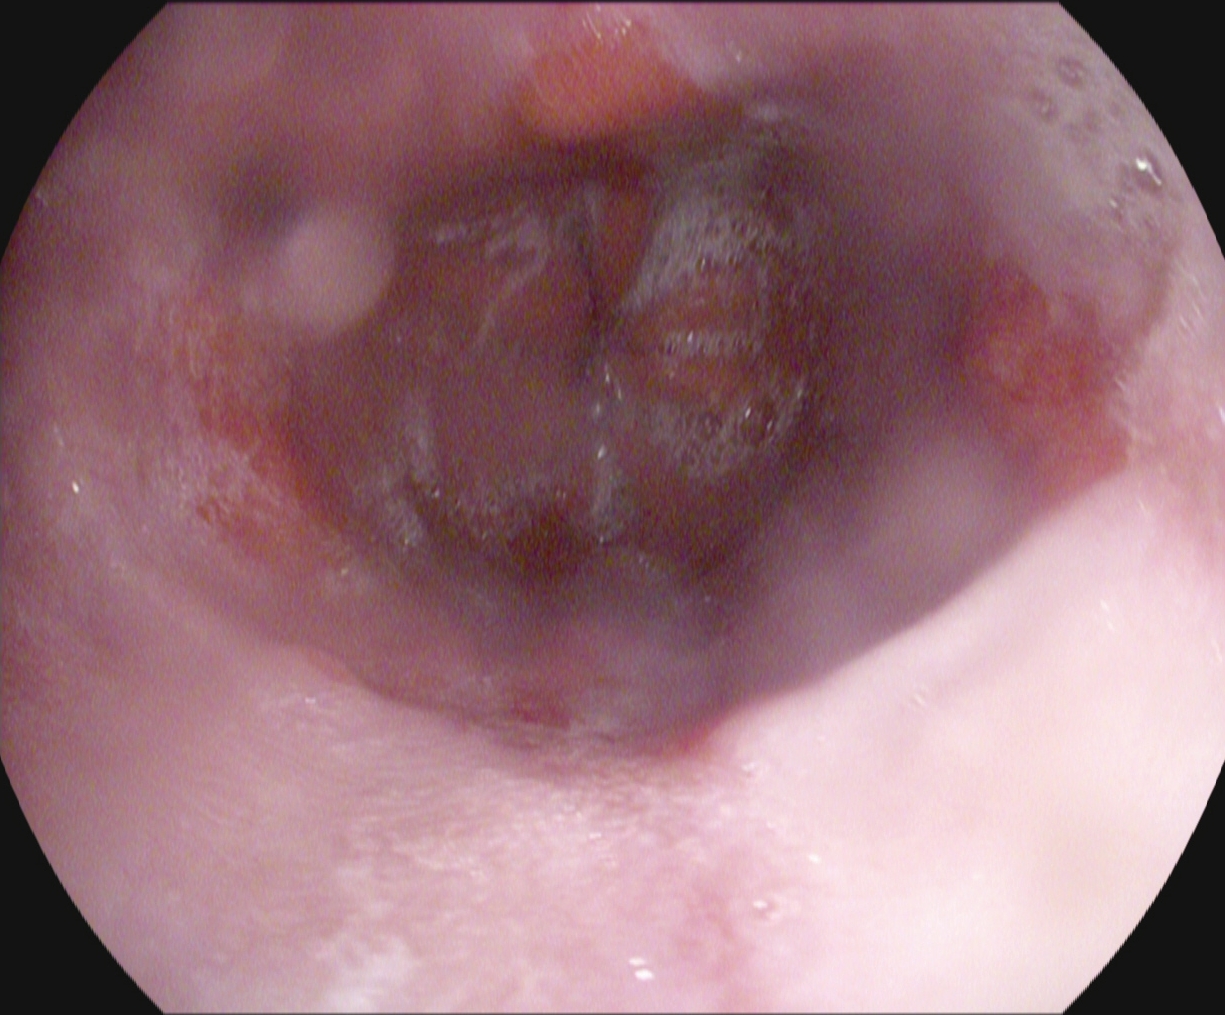{"modality": "esophagogastroduodenoscopy", "tract": "upper GI tract", "finding": "reflux esophagitis, LA grade B\u2013D"}